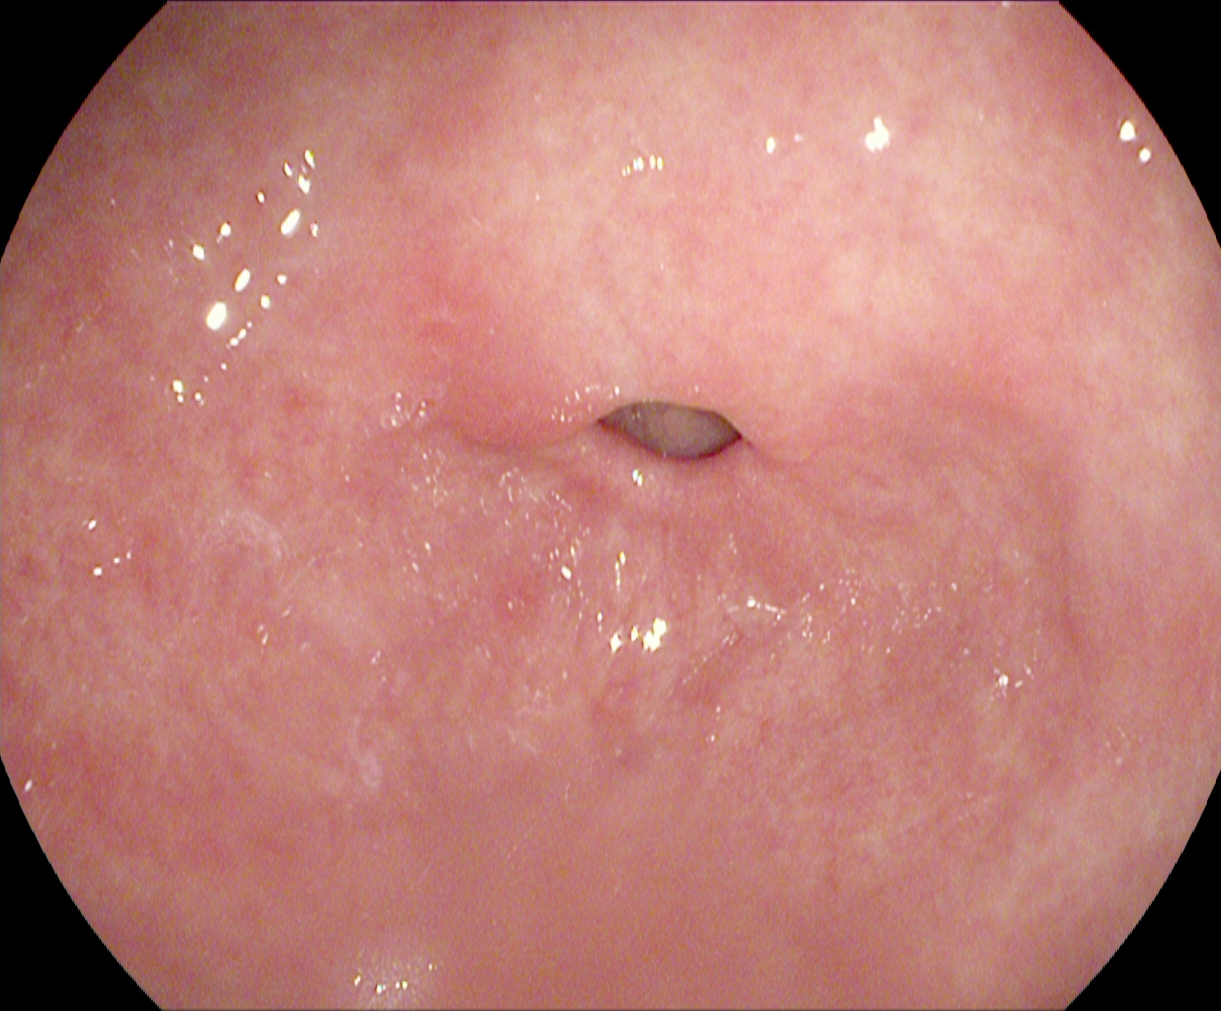PROCEDURE: Gastroscopy.
FINDINGS: Pylorus.